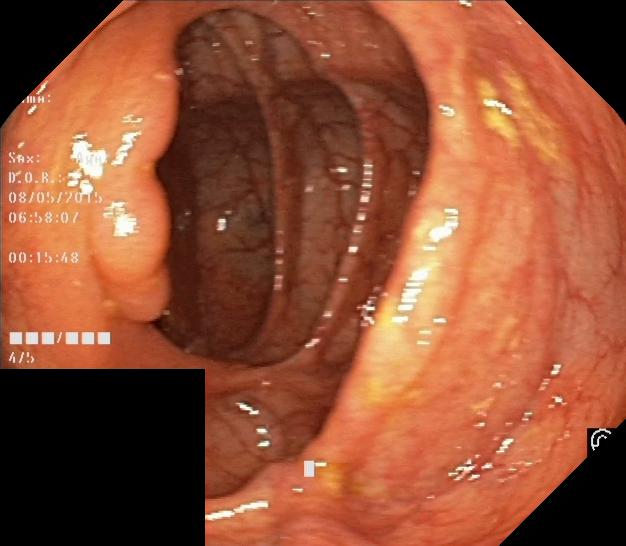Gastrointestinal endoscopy image showing colorectal polyp(s).